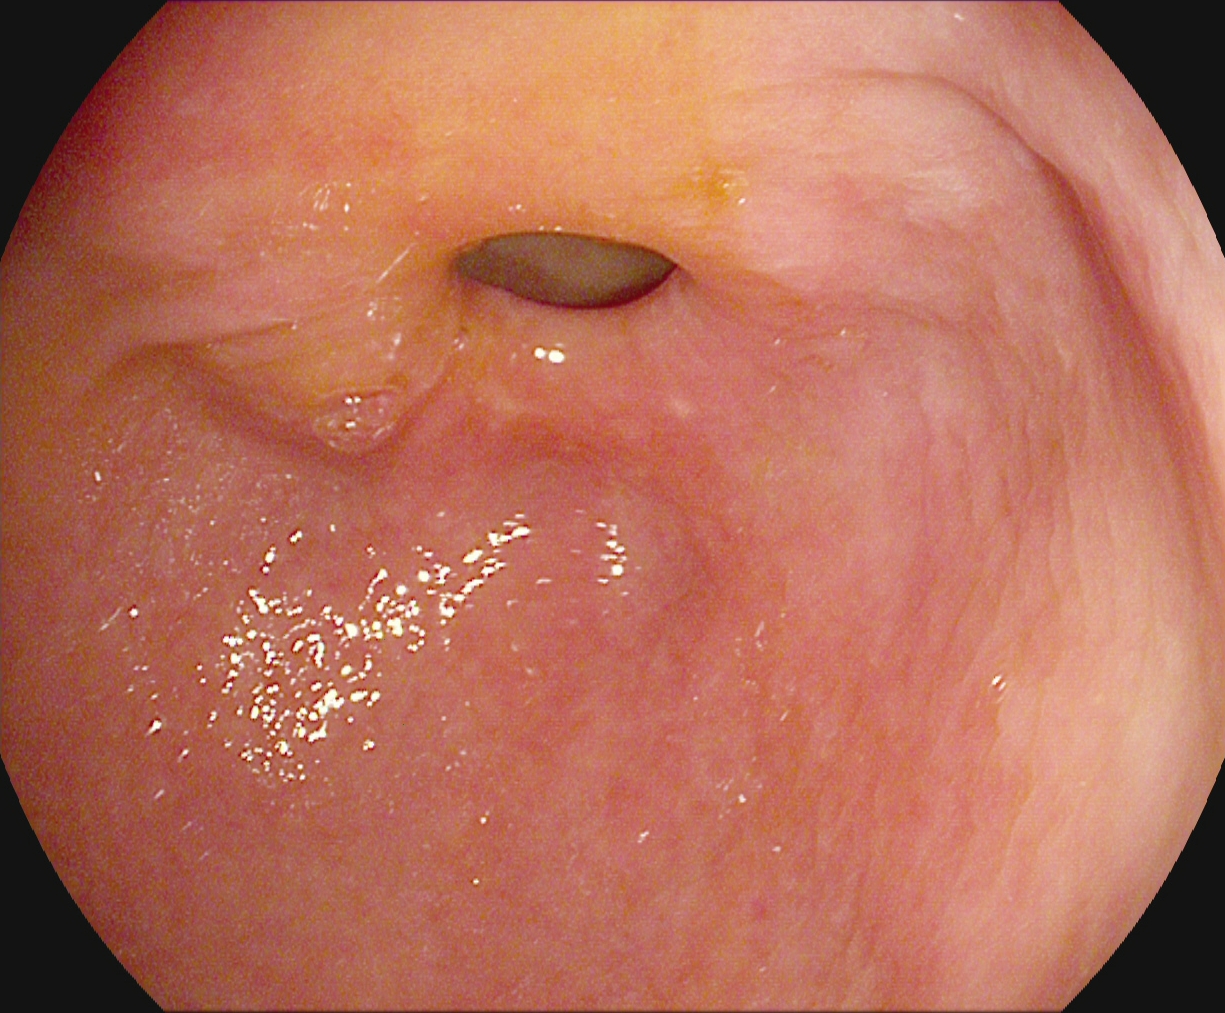PROCEDURE: Upper-GI endoscopy.
FINDINGS: Pylorus.